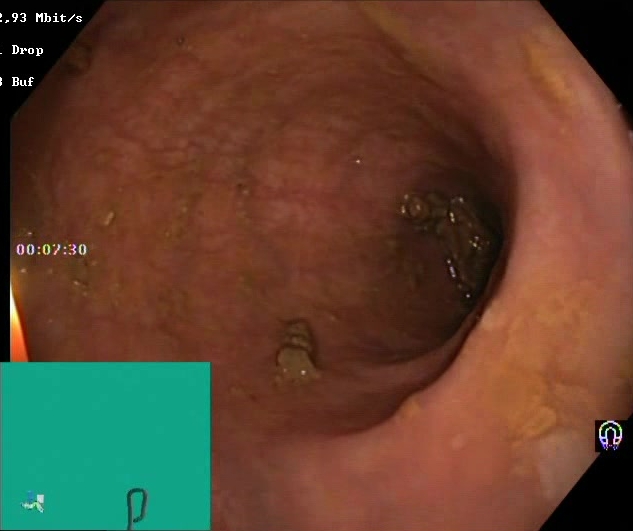Lower-GI endoscopy — Boston Bowel Preparation Scale score 2–3 (adequate preparation).